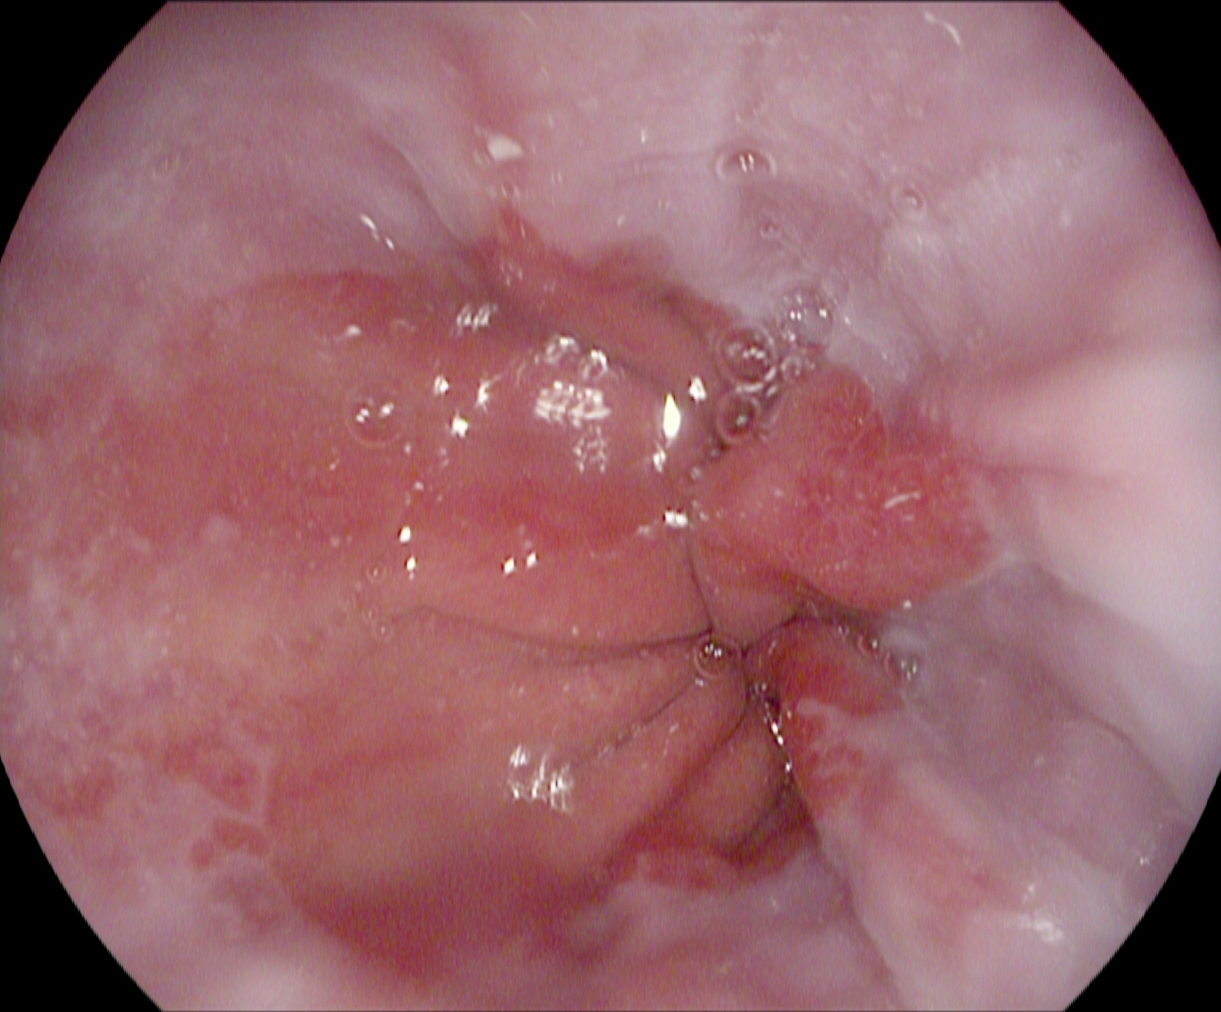This endoscopic image of the upper GI tract shows reflux esophagitis, LA grade A.